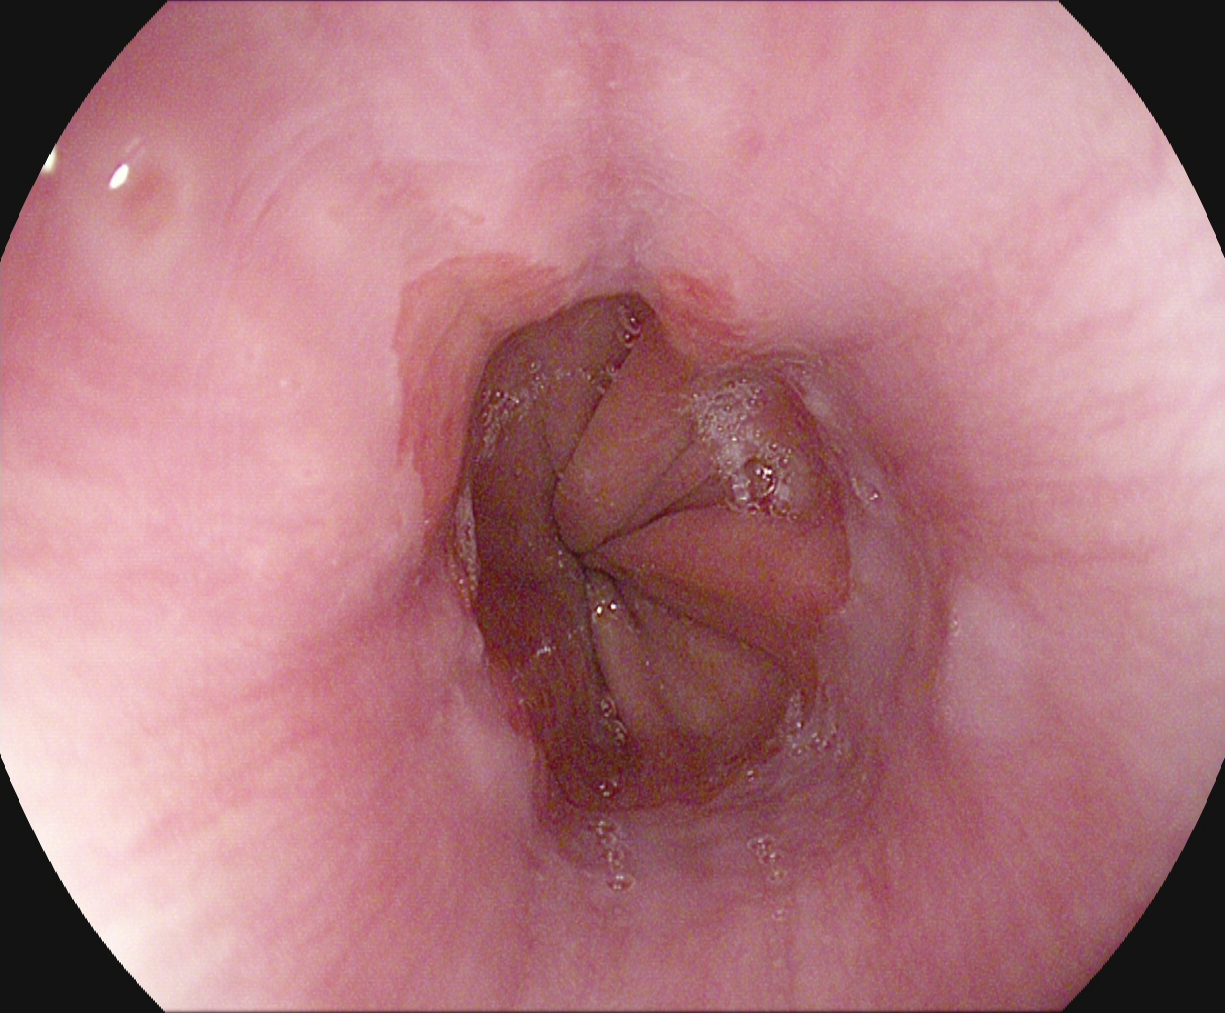reflux esophagitis, Los Angeles grade A.